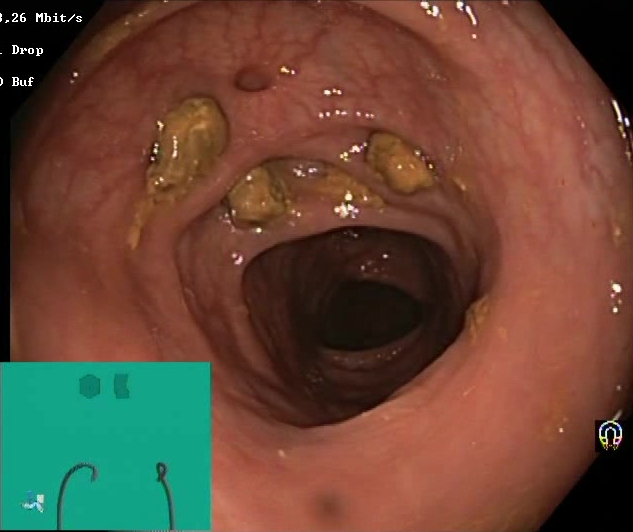{"modality": "lower gastrointestinal endoscopy", "tract": "lower GI tract", "finding": "impacted stool"}